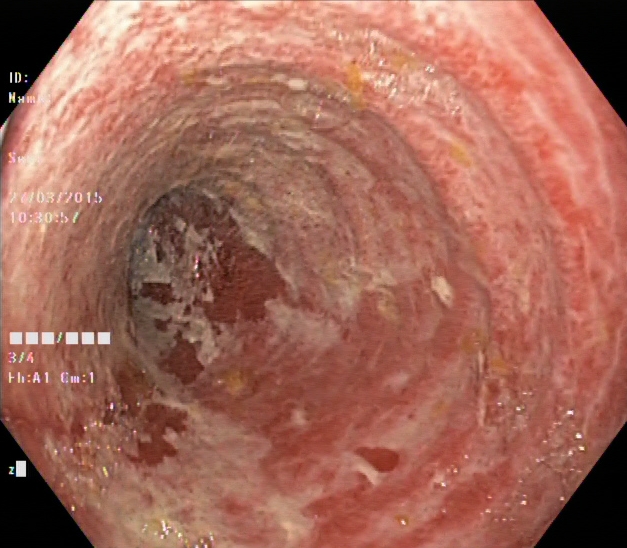Endoscopic image of the lower GI tract showing ulcerative colitis, Mayo endoscopic subscore 2.